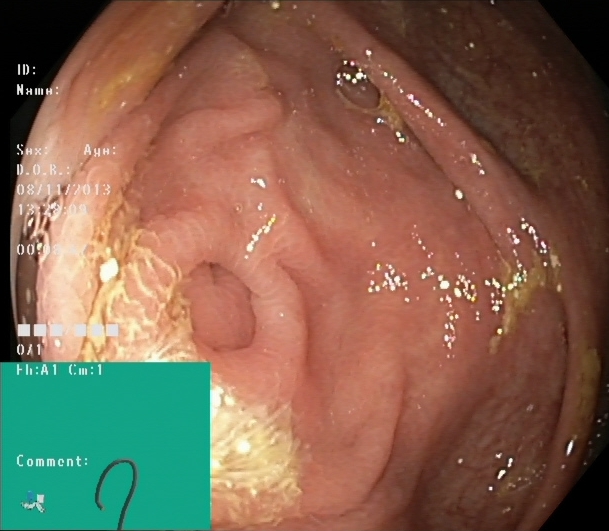modality: colonoscopy; tract: lower GI tract; finding: cecum